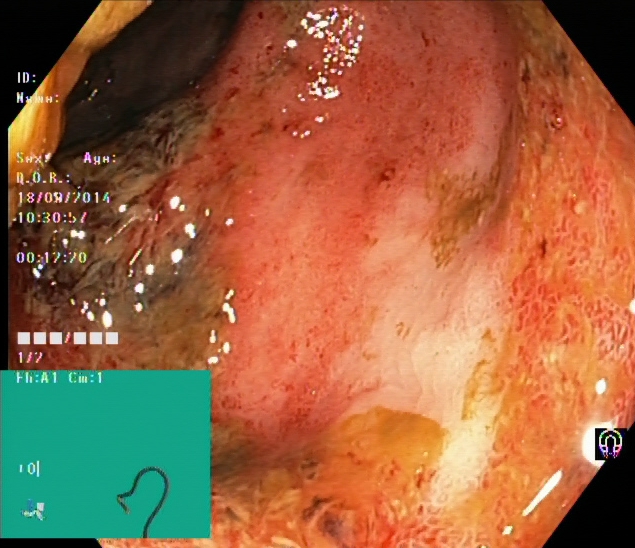Gastrointestinal endoscopy image showing ulcerative colitis, Mayo endoscopic subscore 3.